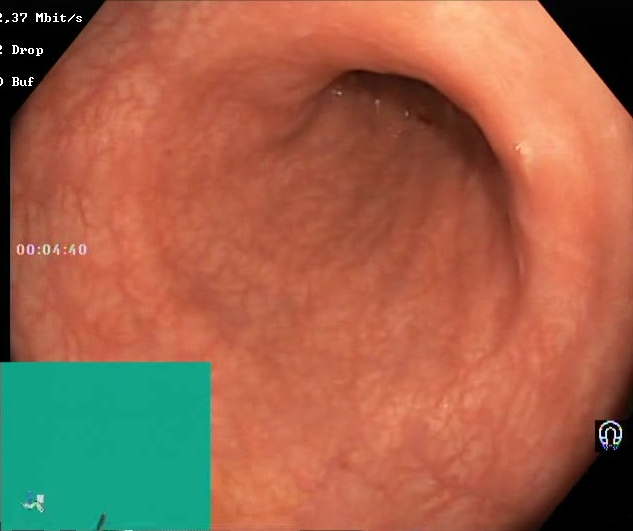{"modality": "lower-GI endoscopy", "finding": "Boston Bowel Preparation Scale score 2\u20133 (adequate preparation)"}